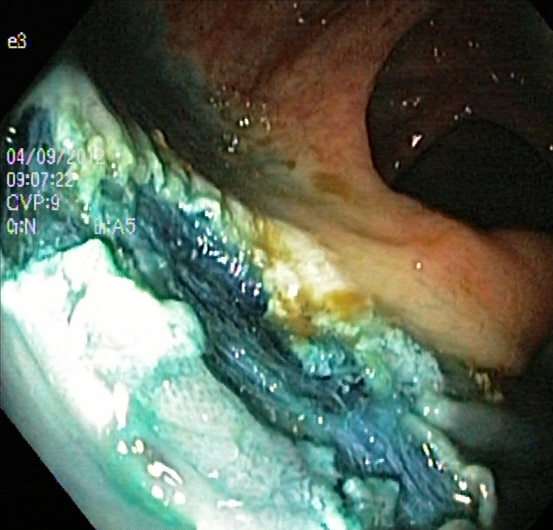PROCEDURE: Lower-GI endoscopy.
CATEGORY: Therapeutic intervention.
FINDINGS: Dyed resection margins (post-polypectomy).